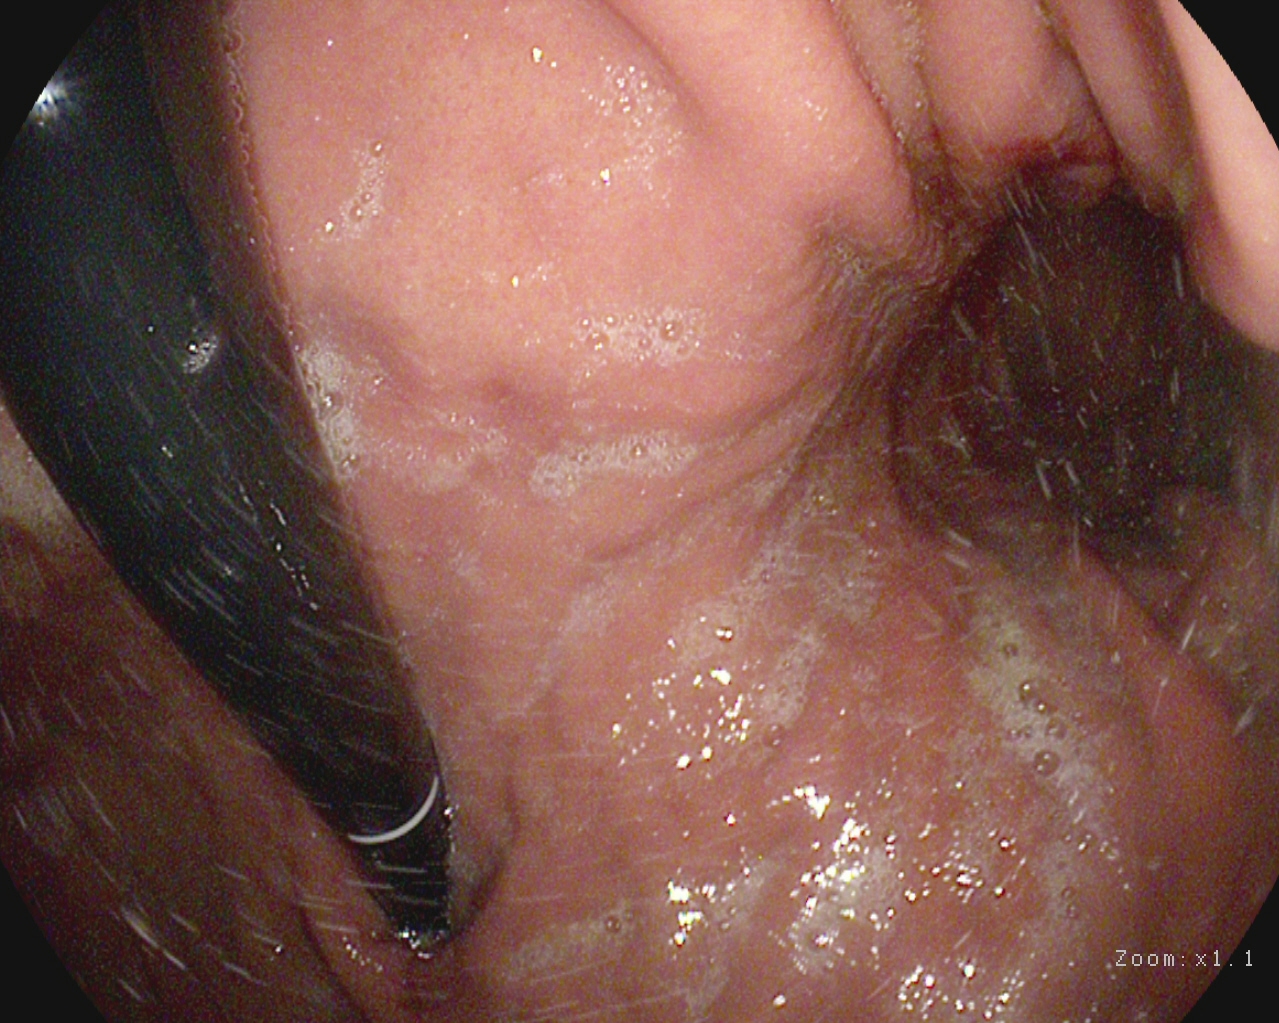PROCEDURE: Esophagogastroduodenoscopy.
FINDINGS: Stomach in retroflexion.